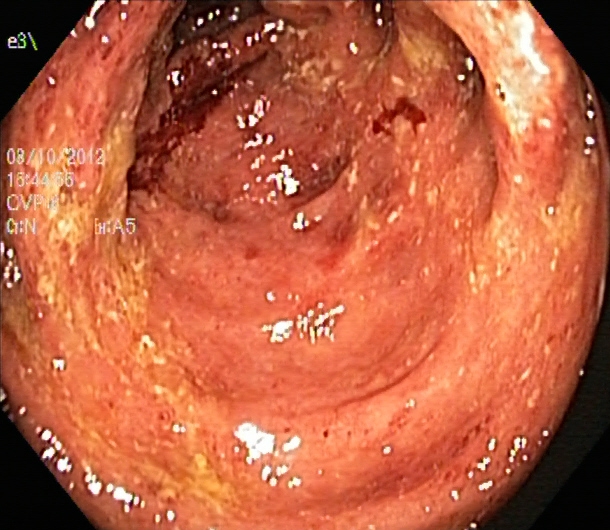PROCEDURE: Lower gastrointestinal endoscopy.
FINDINGS: Ulcerative colitis, Mayo endoscopic subscore 3.